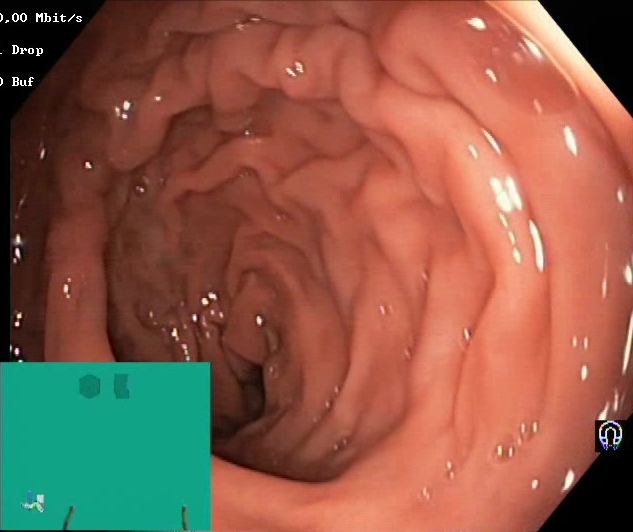Colonoscopy. Tract: lower GI tract. Mucosal-view quality. Finding: BBPS score 2–3 (adequate preparation).